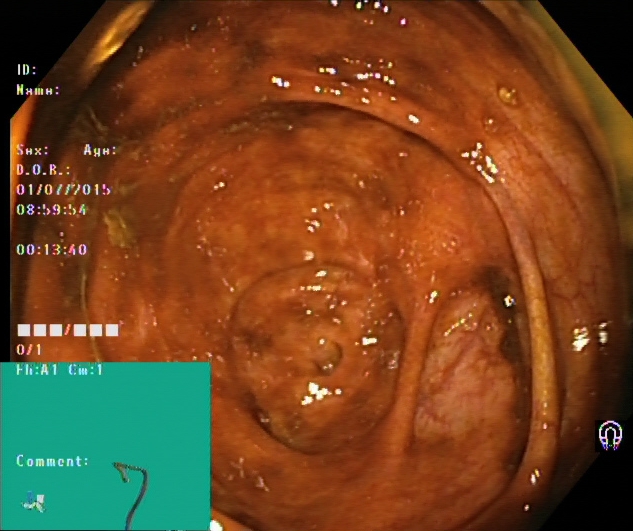Cecum.